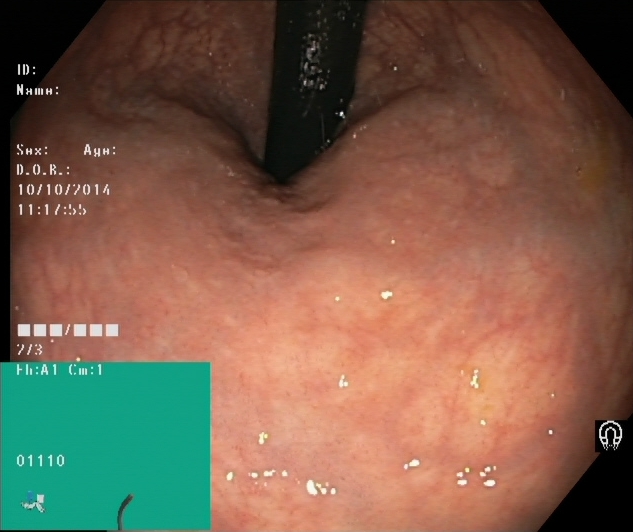Rectum in retroflexion.